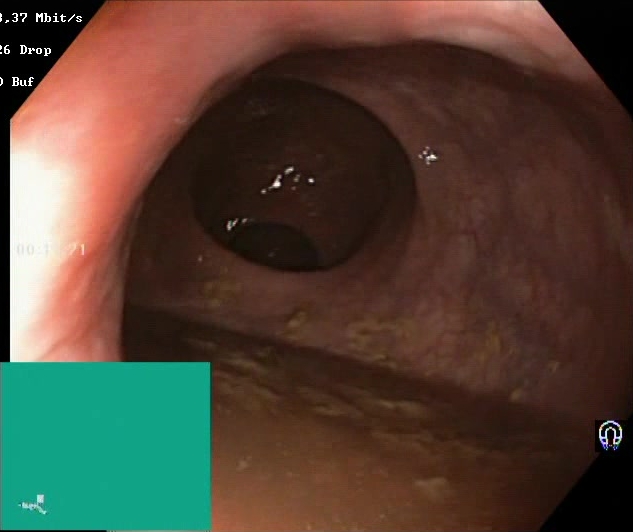modality: colonoscopy; finding: BBPS score 0–1 (inadequate preparation)